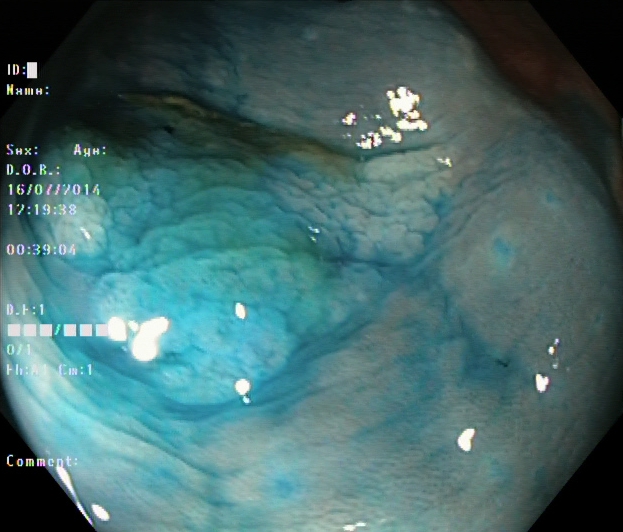Colonoscopy — dyed and lifted polyp (pre-resection).